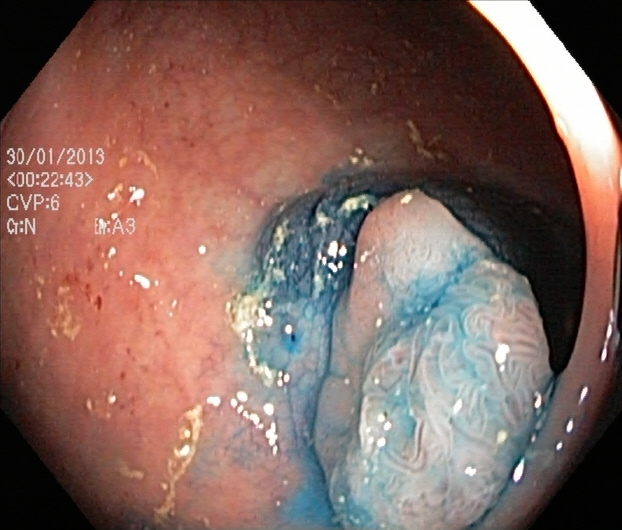Dyed and lifted polyp (pre-resection).